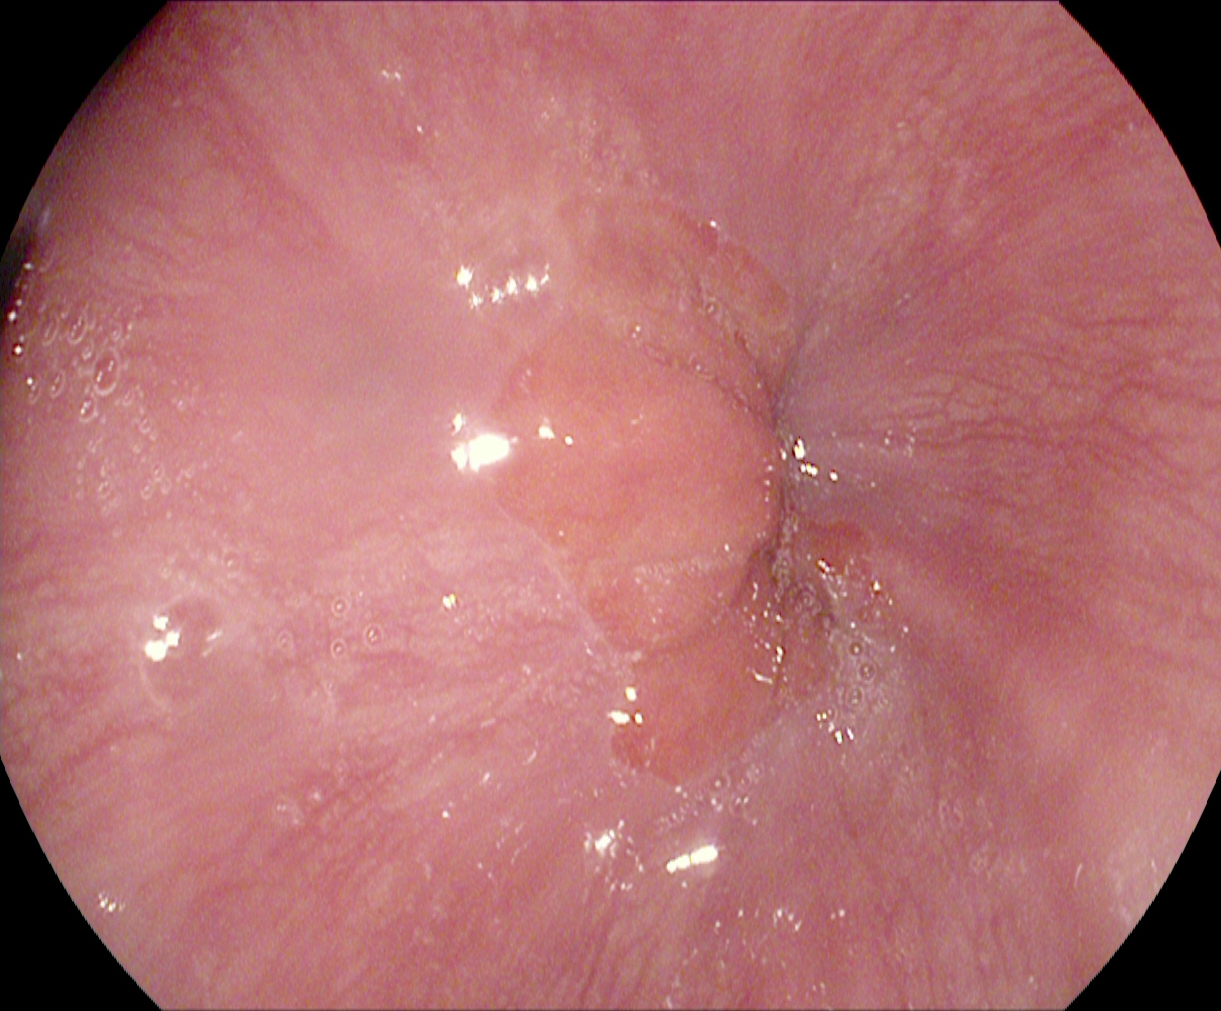Esophagogastroduodenoscopy image showing Z-line (gastroesophageal junction).